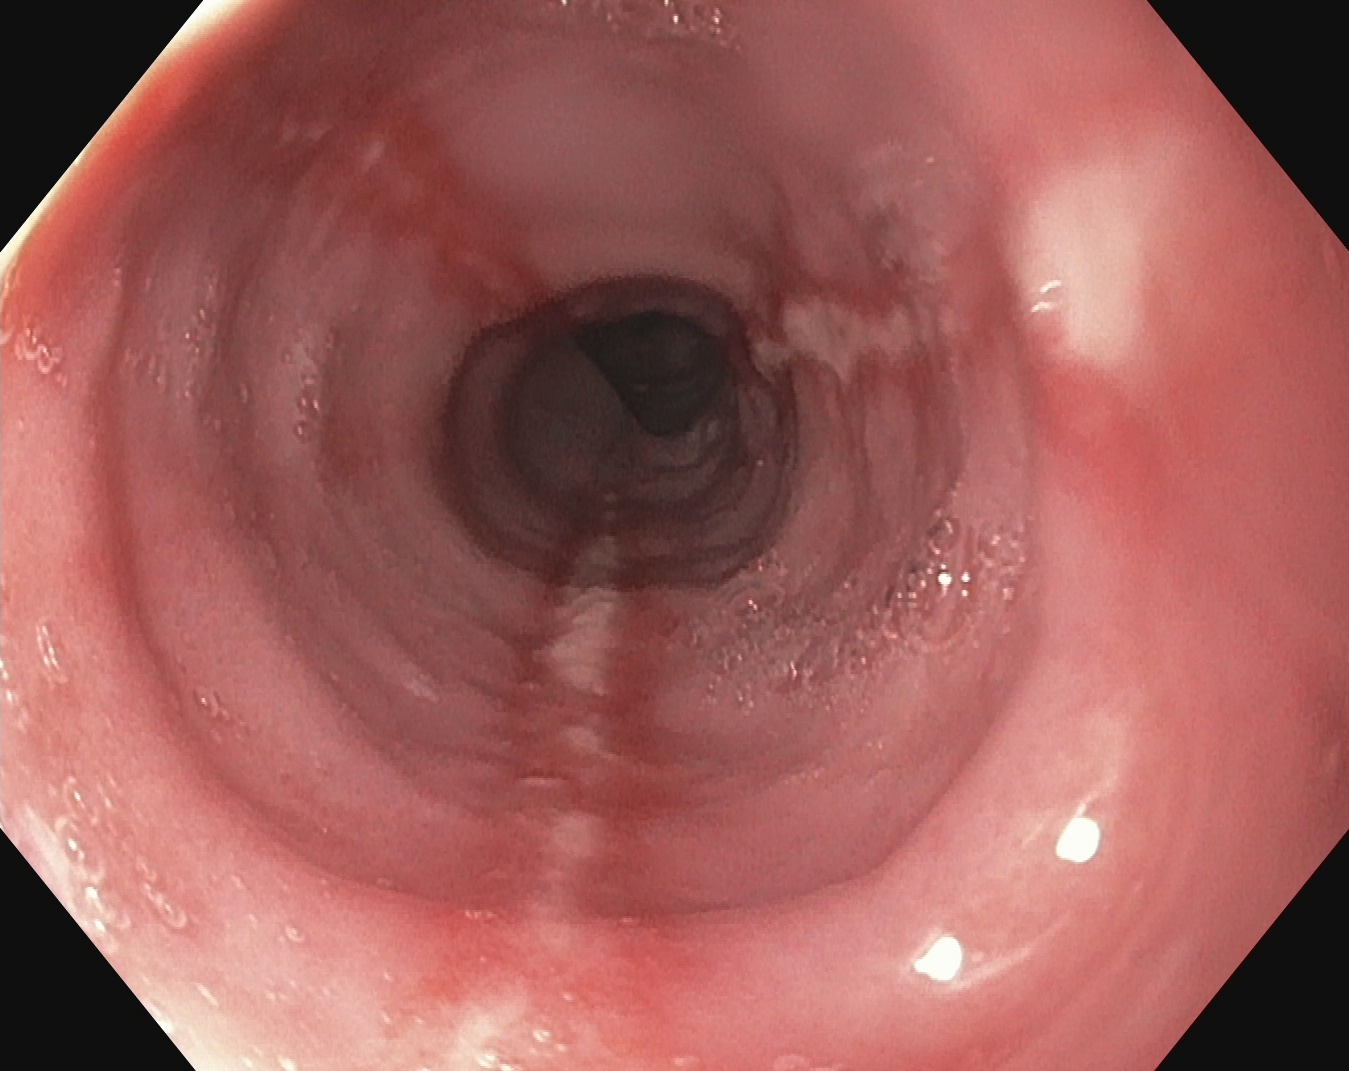Upper-GI endoscopy image showing reflux esophagitis, Los Angeles grade B–D.